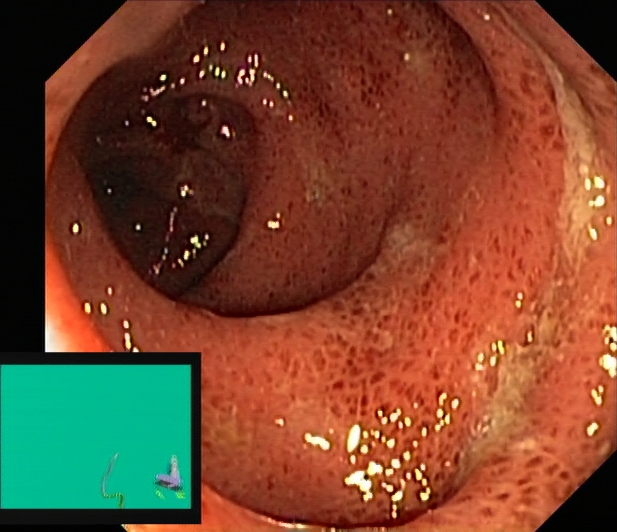This endoscopic image of the lower GI tract shows ulcerative colitis, Mayo endoscopic subscore 2.